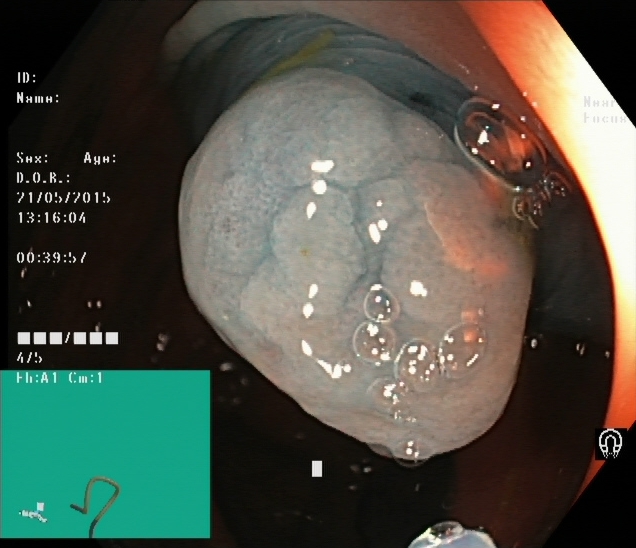Lower gastrointestinal endoscopy — dyed and lifted polyp (pre-resection).